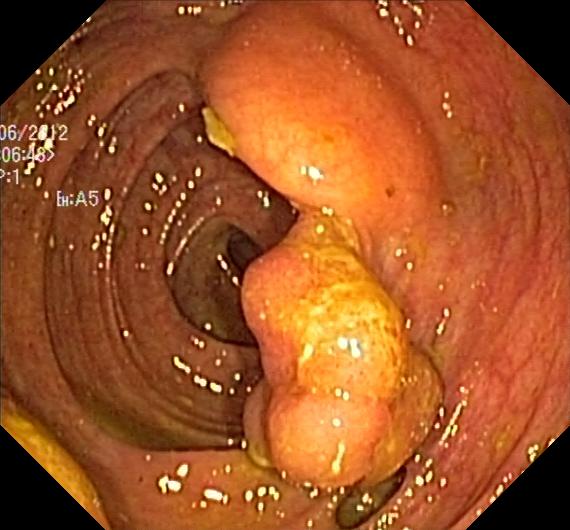Colorectal polyp(s).